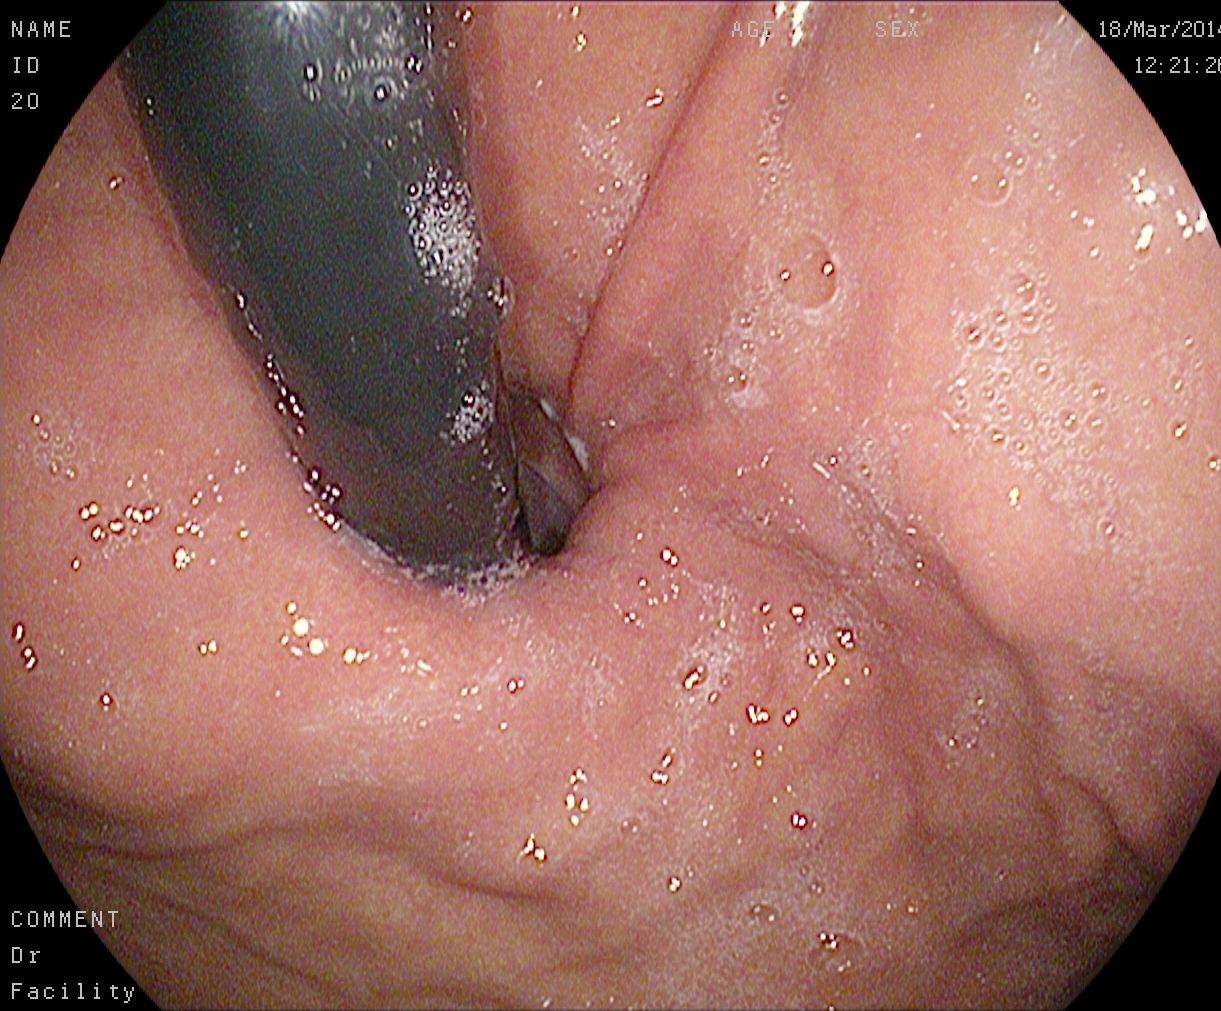modality: EGD; tract: upper GI tract; finding: stomach in retroflexion